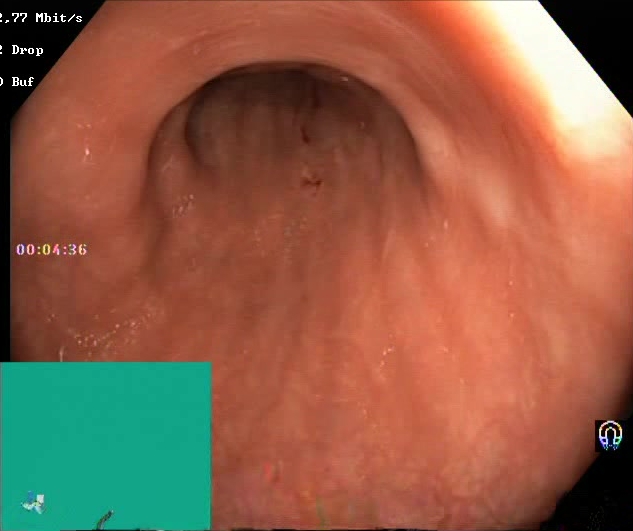PROCEDURE: Colonoscopy.
FINDINGS: Boston Bowel Preparation Scale score 2–3 (adequate preparation).